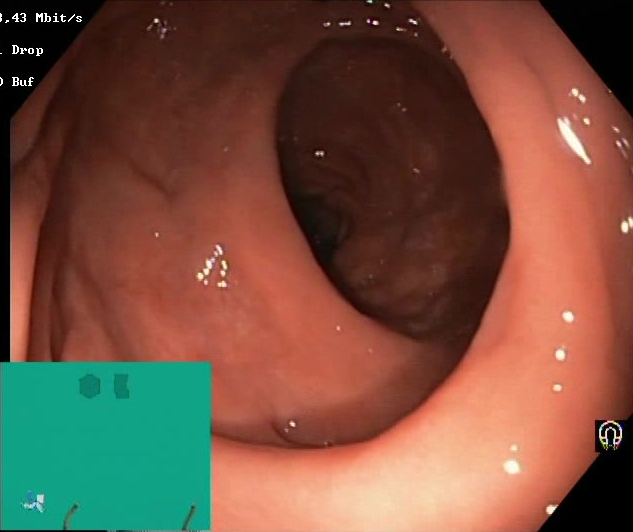{"modality": "lower-GI endoscopy", "category": "mucosal-view quality", "finding": "Boston Bowel Preparation Scale score 2\u20133 (adequate preparation)"}